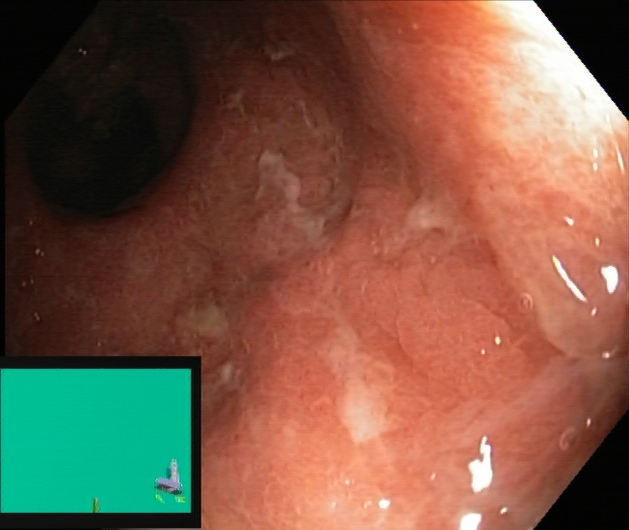Endoscopy image showing ulcerative colitis, Mayo endoscopic subscore 2.